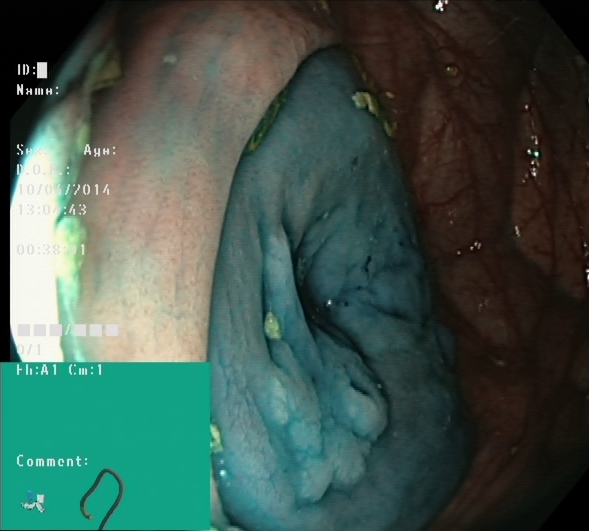This endoscopic image of the lower GI tract shows dyed and lifted polyp (pre-resection).